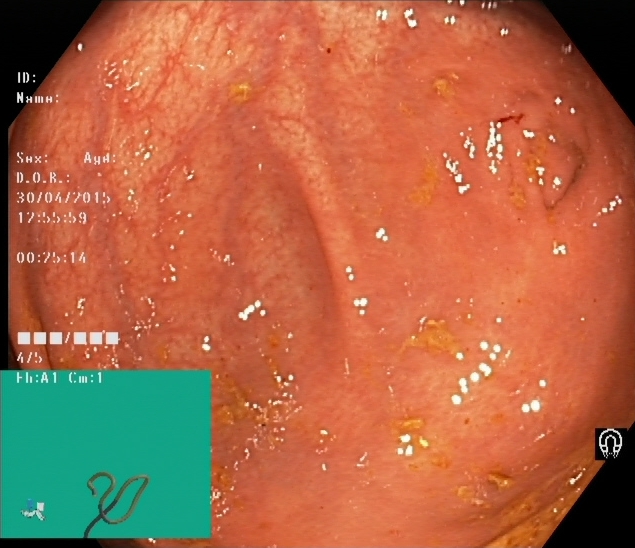Endoscopic image of the lower GI tract showing cecum.